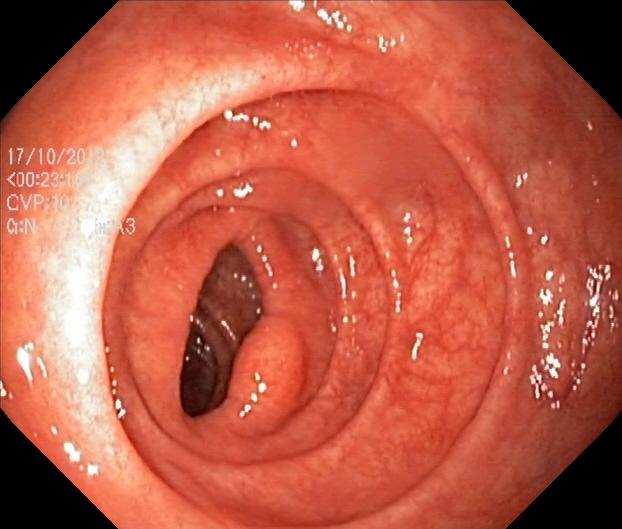modality: colonoscopy; tract: lower GI tract; category: pathological finding; finding: colorectal polyp(s)